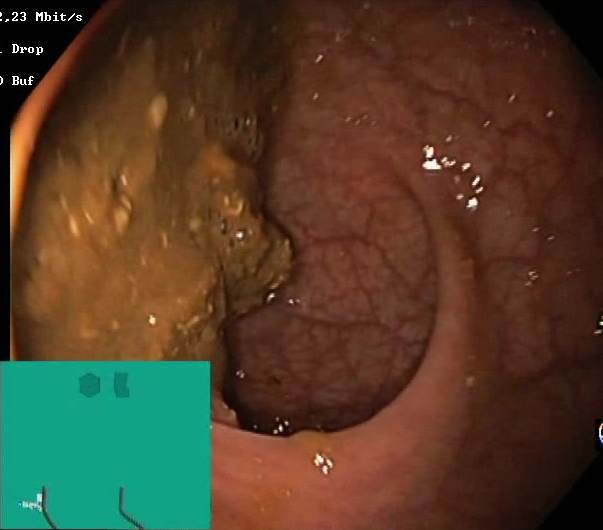modality: lower-GI endoscopy
finding: BBPS score 0–1 (inadequate preparation)